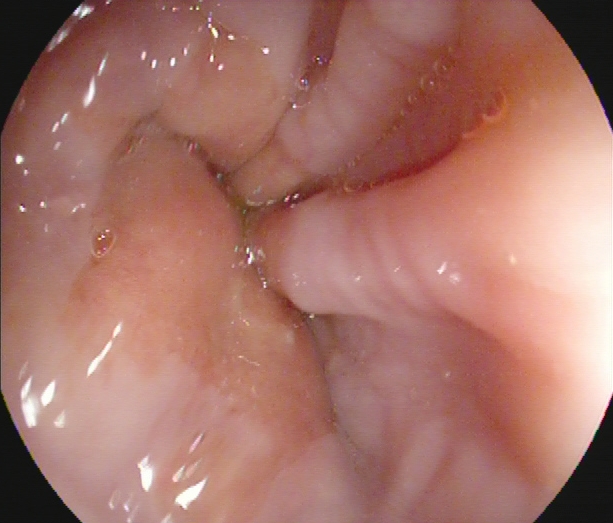Z-line (gastroesophageal junction).